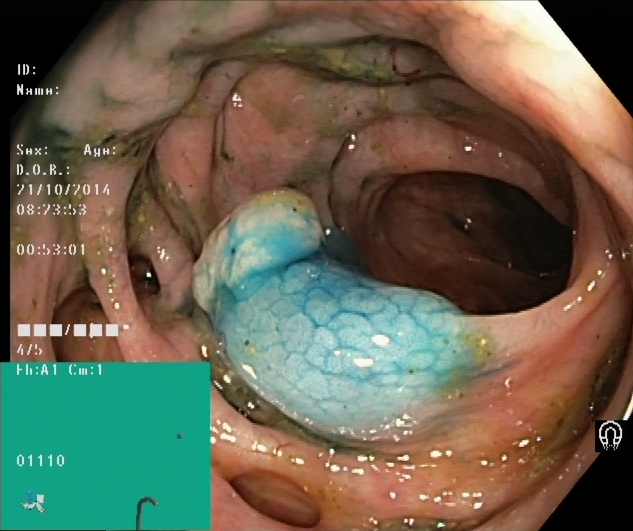{"modality": "colonoscopy", "finding": "dyed and lifted polyp (pre-resection)"}